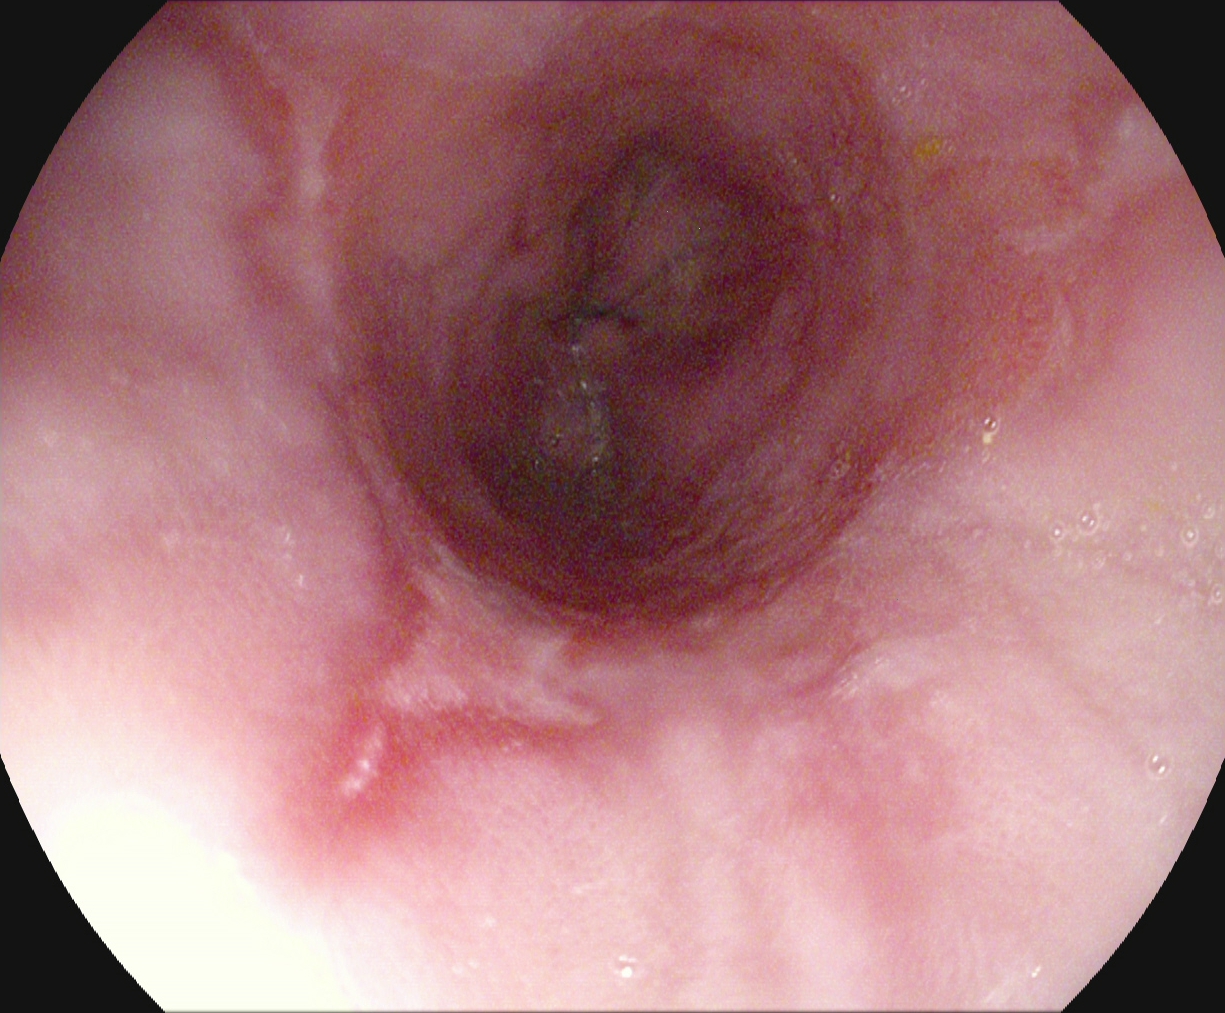PROCEDURE: Upper-GI endoscopy.
CATEGORY: Pathological finding.
FINDINGS: Reflux esophagitis, LA grade B–D.